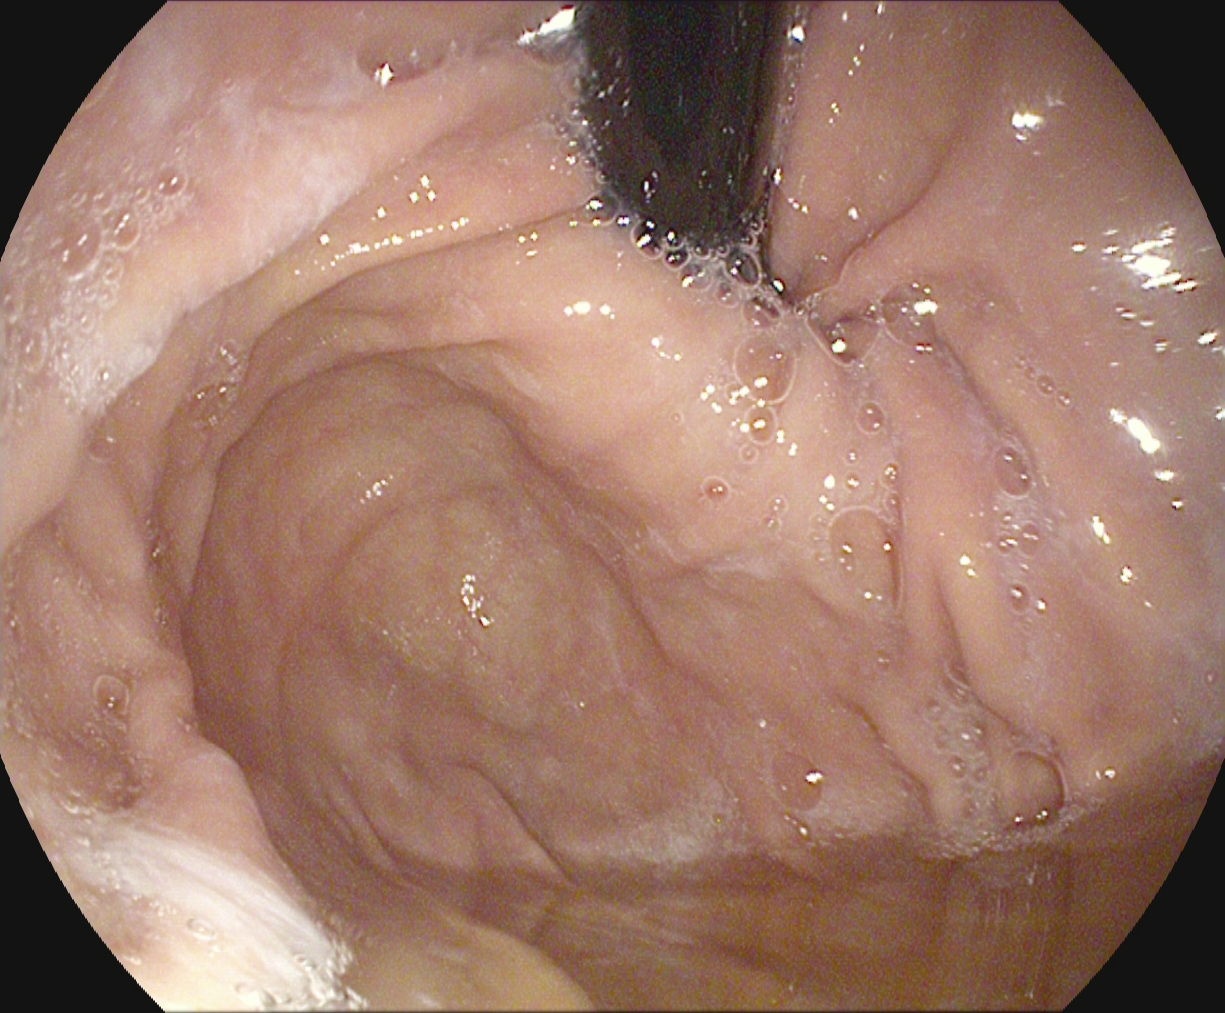Gastroscopy. Anatomical landmark. Finding: stomach in retroflexion.